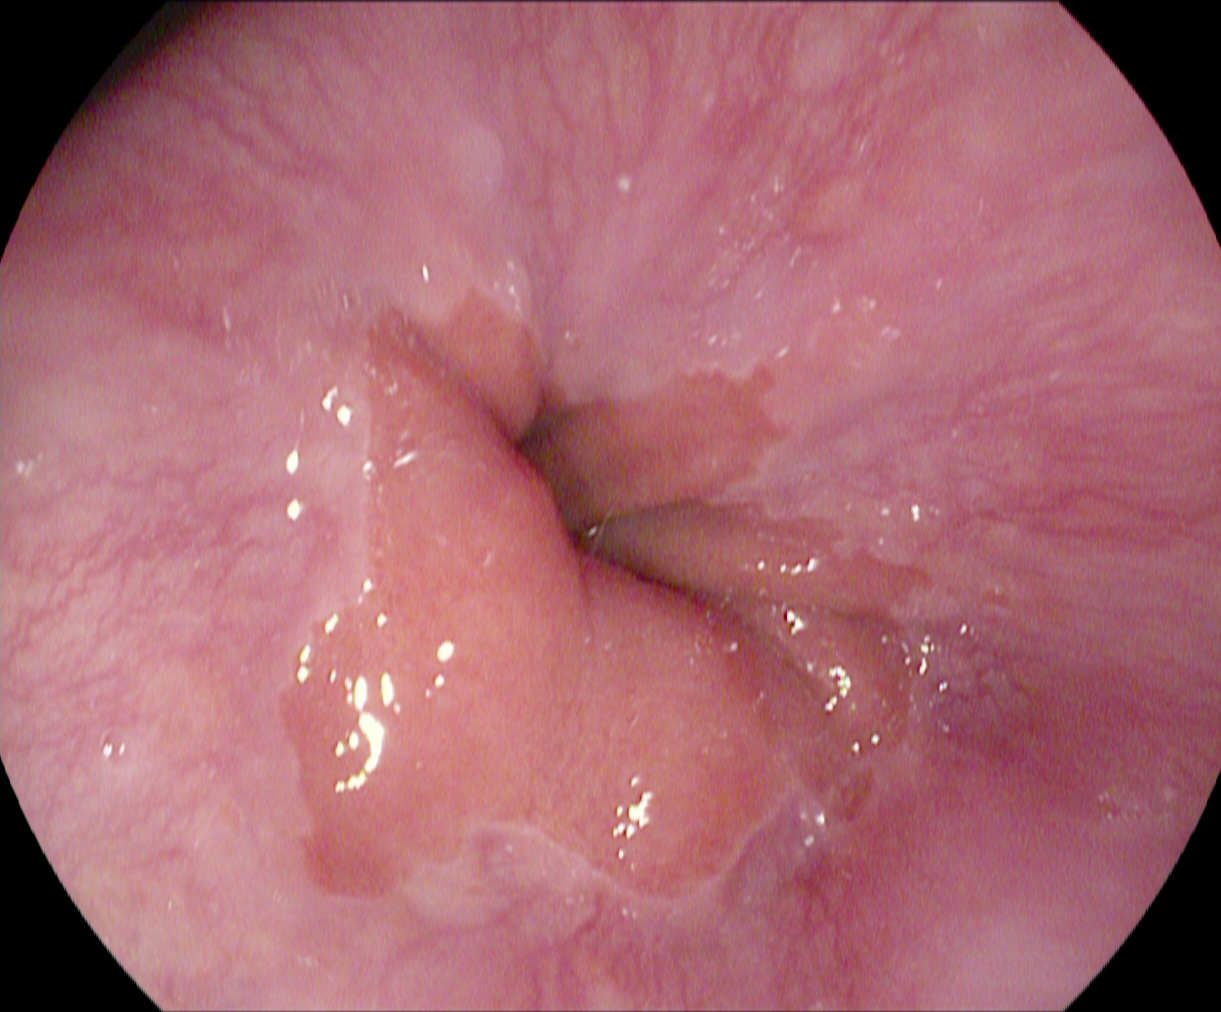{"modality": "upper-GI endoscopy", "tract": "upper GI tract", "finding": "Z-line (gastroesophageal junction)"}